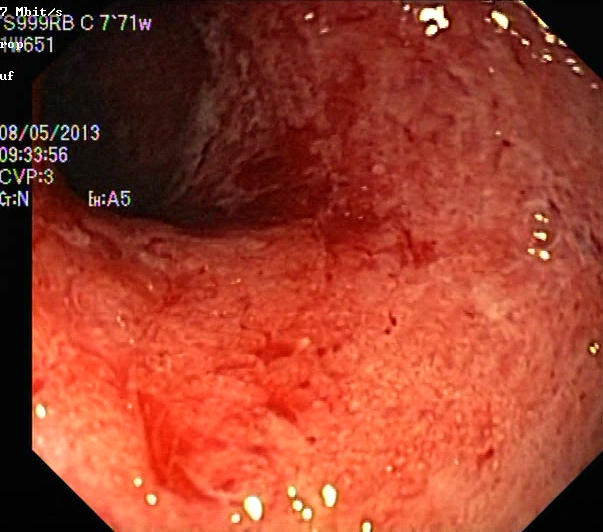{"modality": "colonoscopy", "tract": "lower GI tract", "category": "pathological finding", "finding": "UC, Mayo endoscopic subscore 3"}